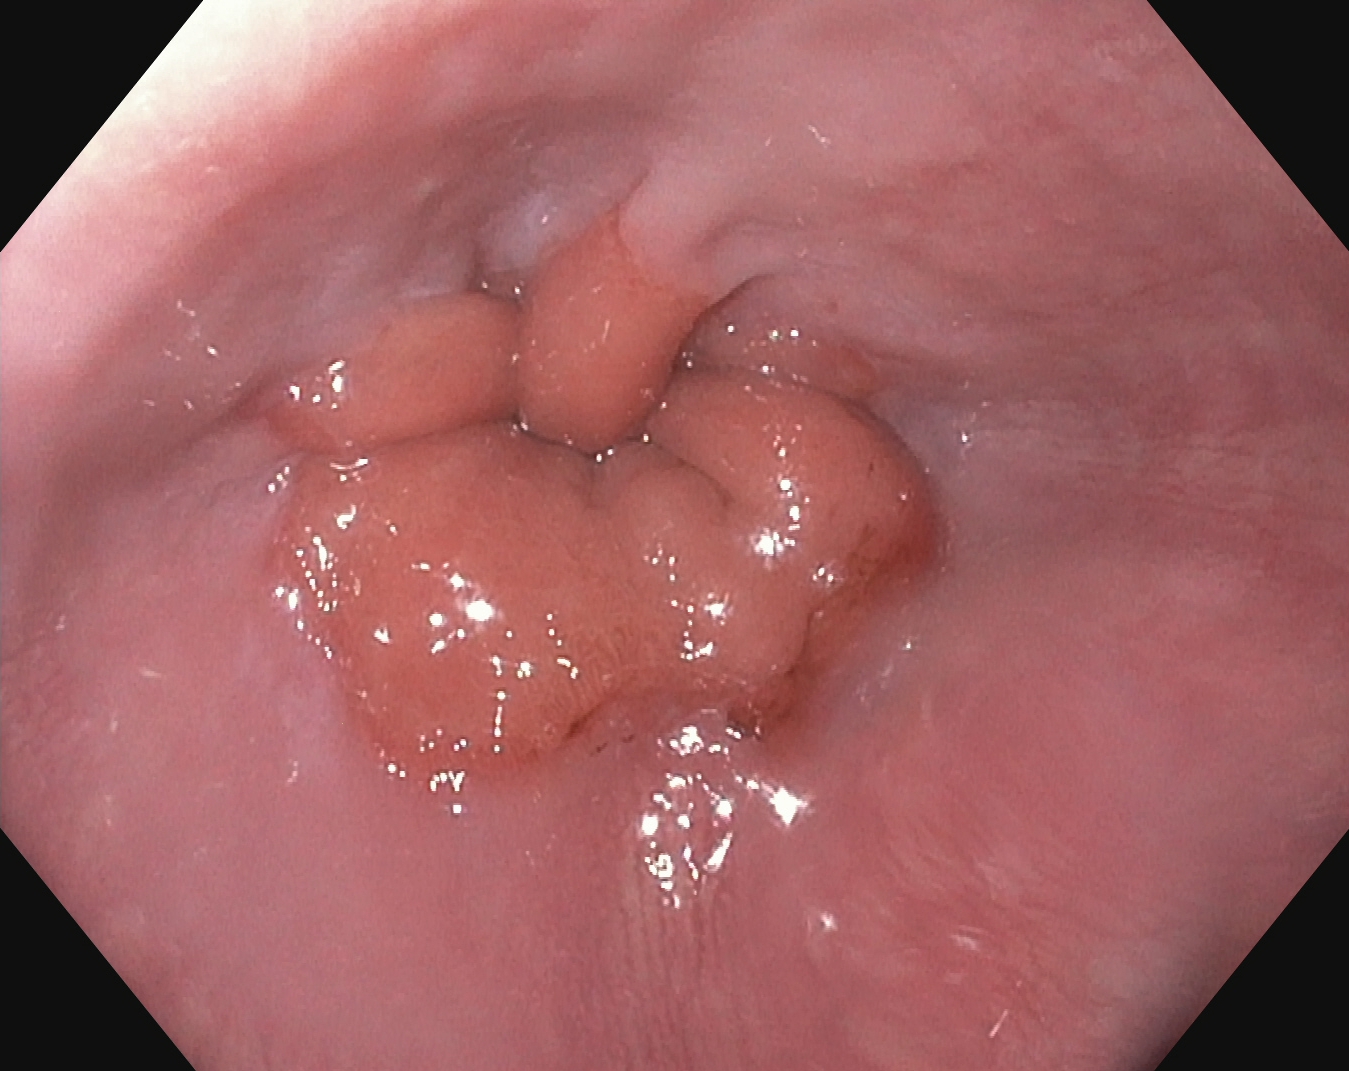This endoscopy frame shows Z-line (gastroesophageal junction).